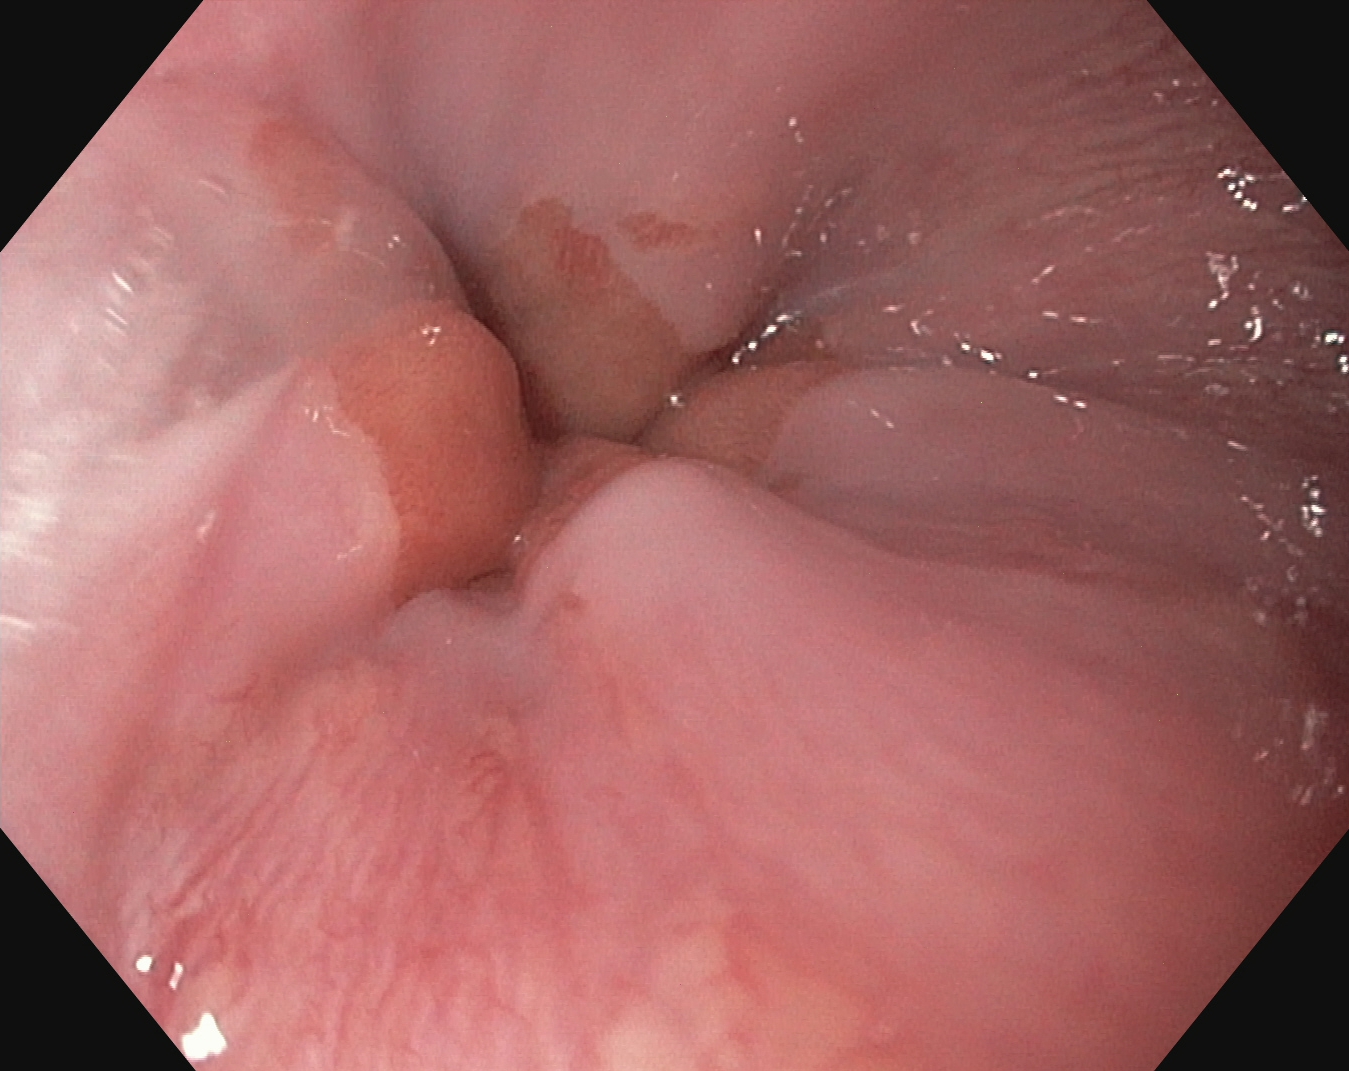PROCEDURE: EGD.
FINDINGS: Z-line (gastroesophageal junction).